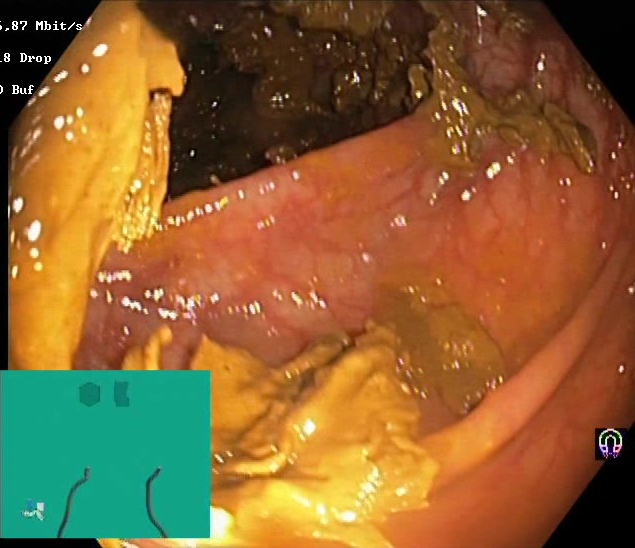modality: colonoscopy | finding: Boston Bowel Preparation Scale score 0–1 (inadequate preparation)